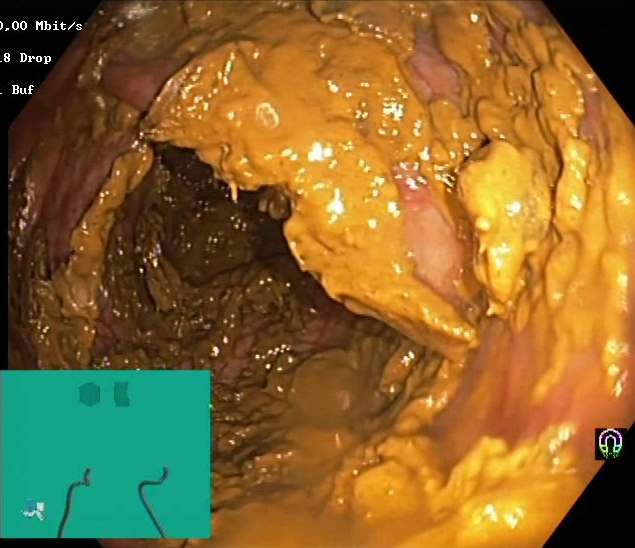Boston Bowel Preparation Scale score 0–1 (inadequate preparation).